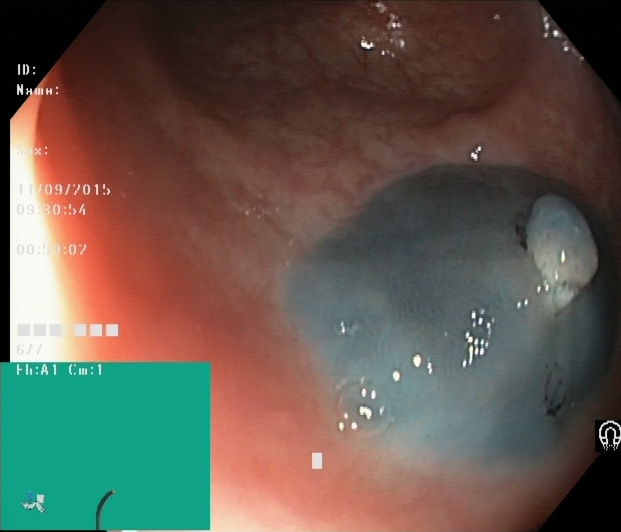modality: lower gastrointestinal endoscopy; tract: lower GI tract; category: therapeutic intervention; finding: dyed and lifted polyp (pre-resection)